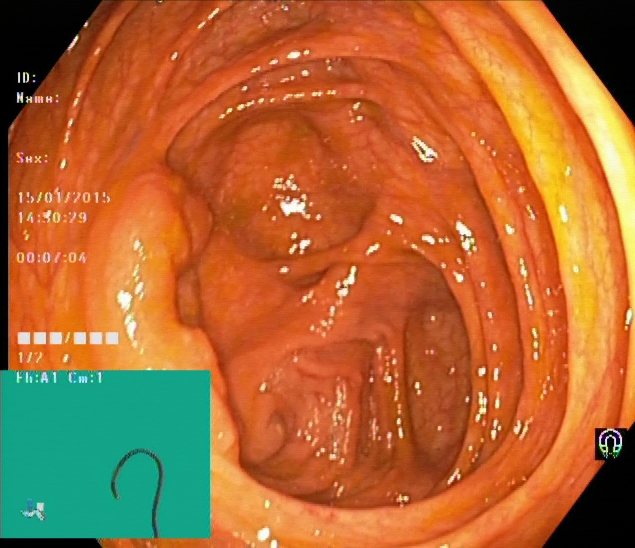Gastrointestinal endoscopy image showing cecum.